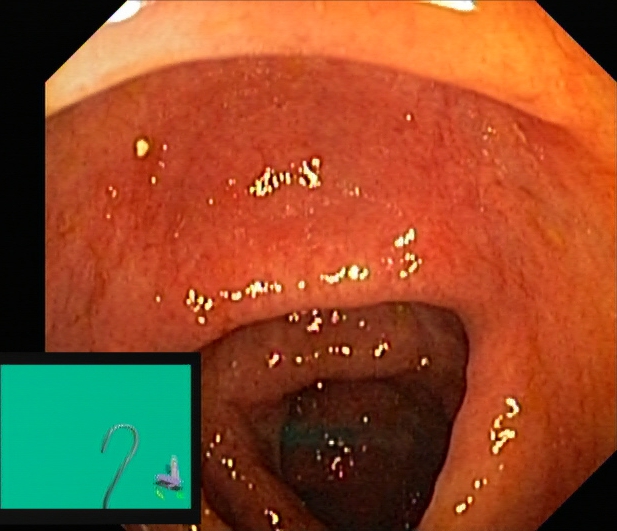modality: lower-GI endoscopy | finding: ulcerative colitis, Mayo endoscopic subscore 1–2